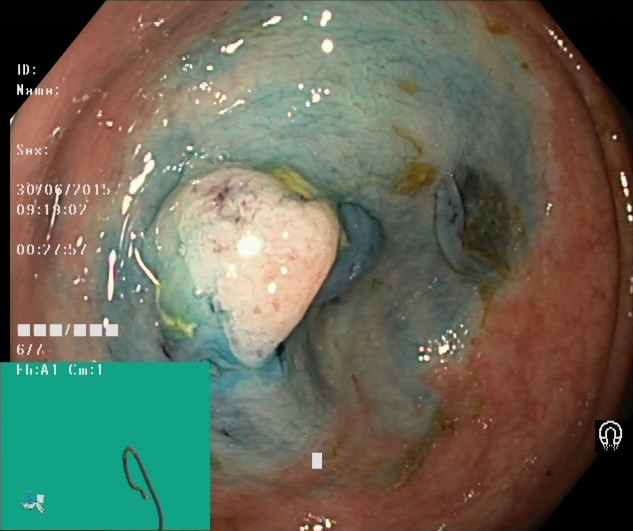Dyed and lifted polyp (pre-resection).